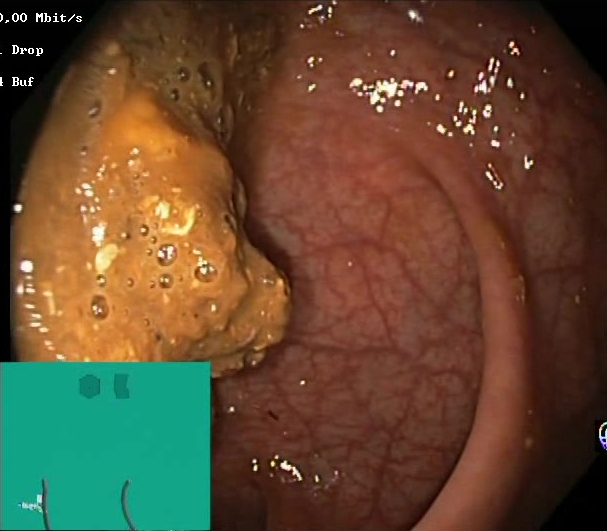PROCEDURE: Colonoscopy.
FINDINGS: Boston Bowel Preparation Scale score 0–1 (inadequate preparation).